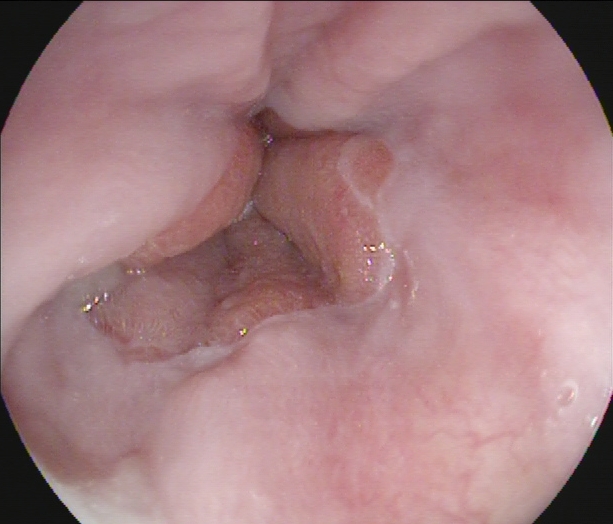PROCEDURE: Upper-GI endoscopy.
FINDINGS: Z-line (gastroesophageal junction).